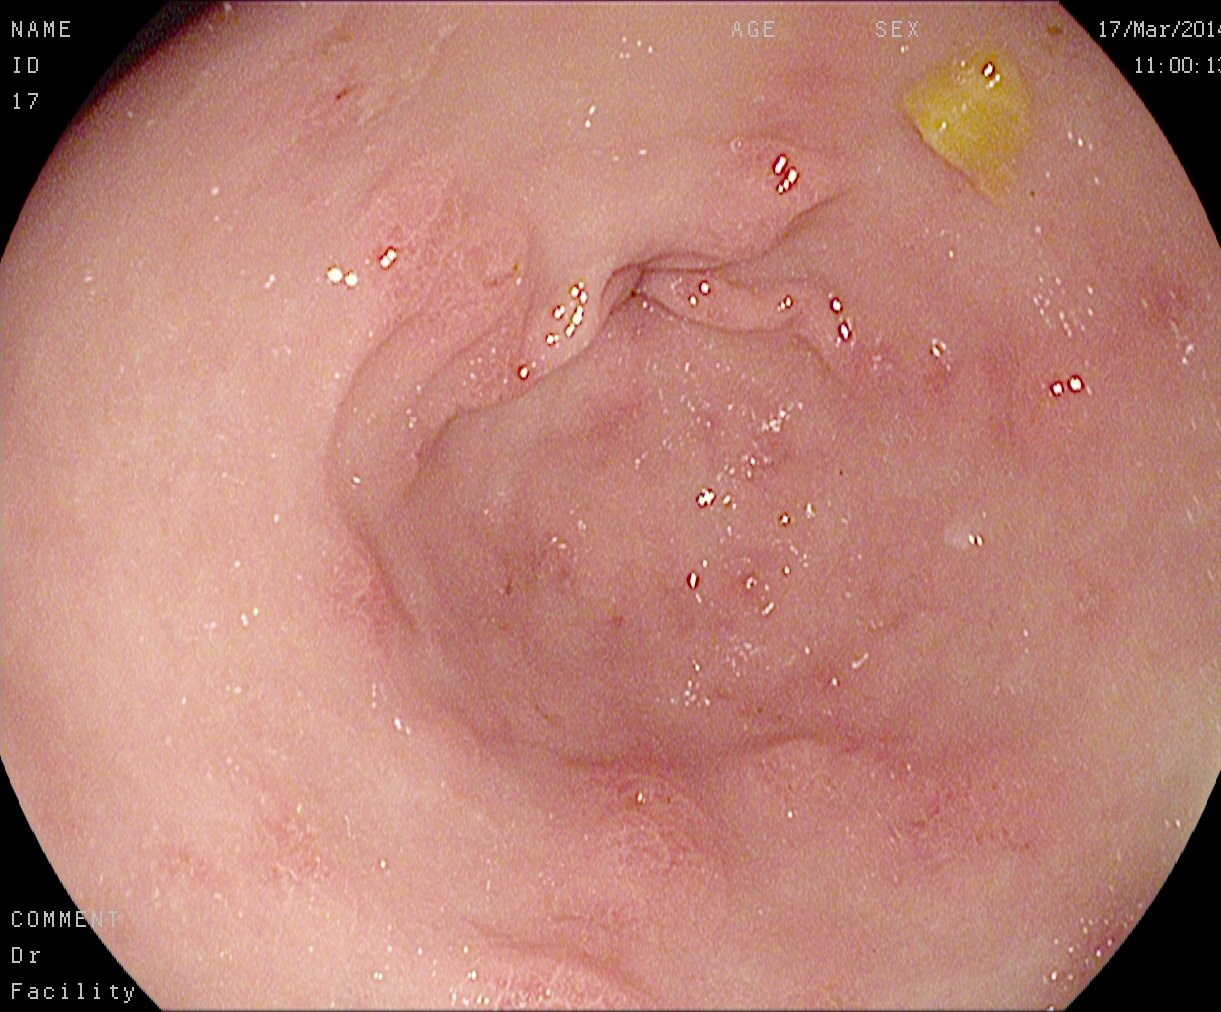This endoscopy frame shows pylorus.